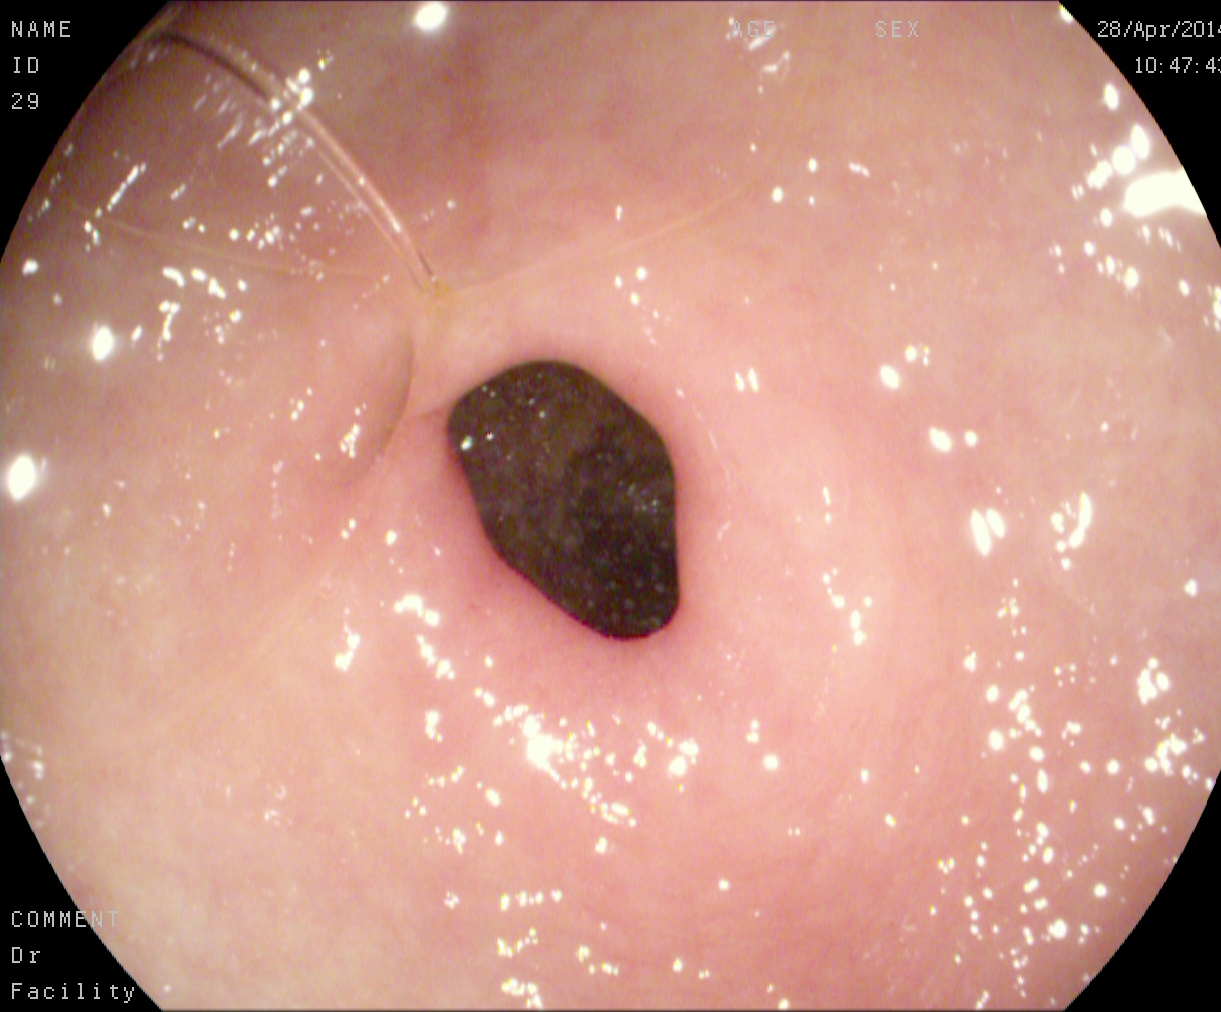This endoscopic image of the upper GI tract shows pylorus.